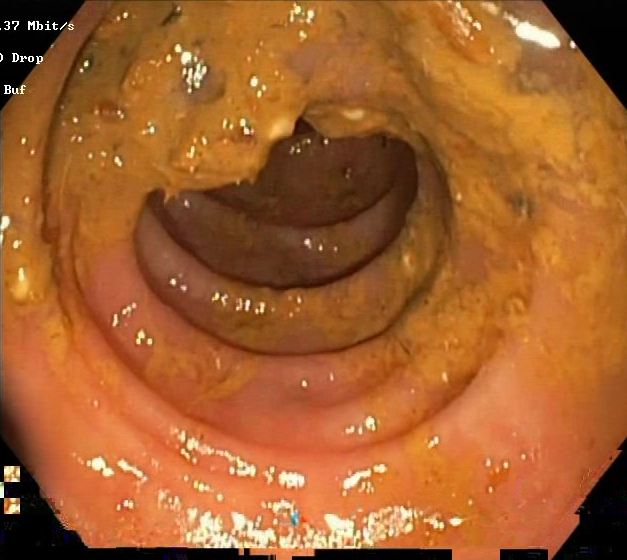Lower-GI endoscopy. Mucosal-view quality. Finding: BBPS score 0–1 (inadequate preparation).